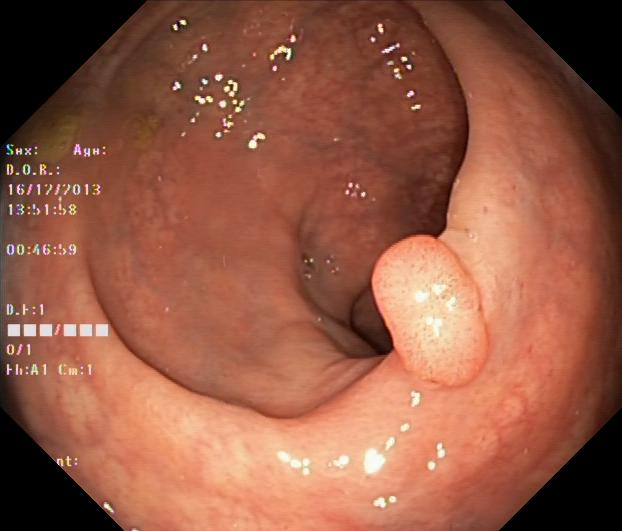This endoscopy frame of the lower GI tract shows colorectal polyp(s).